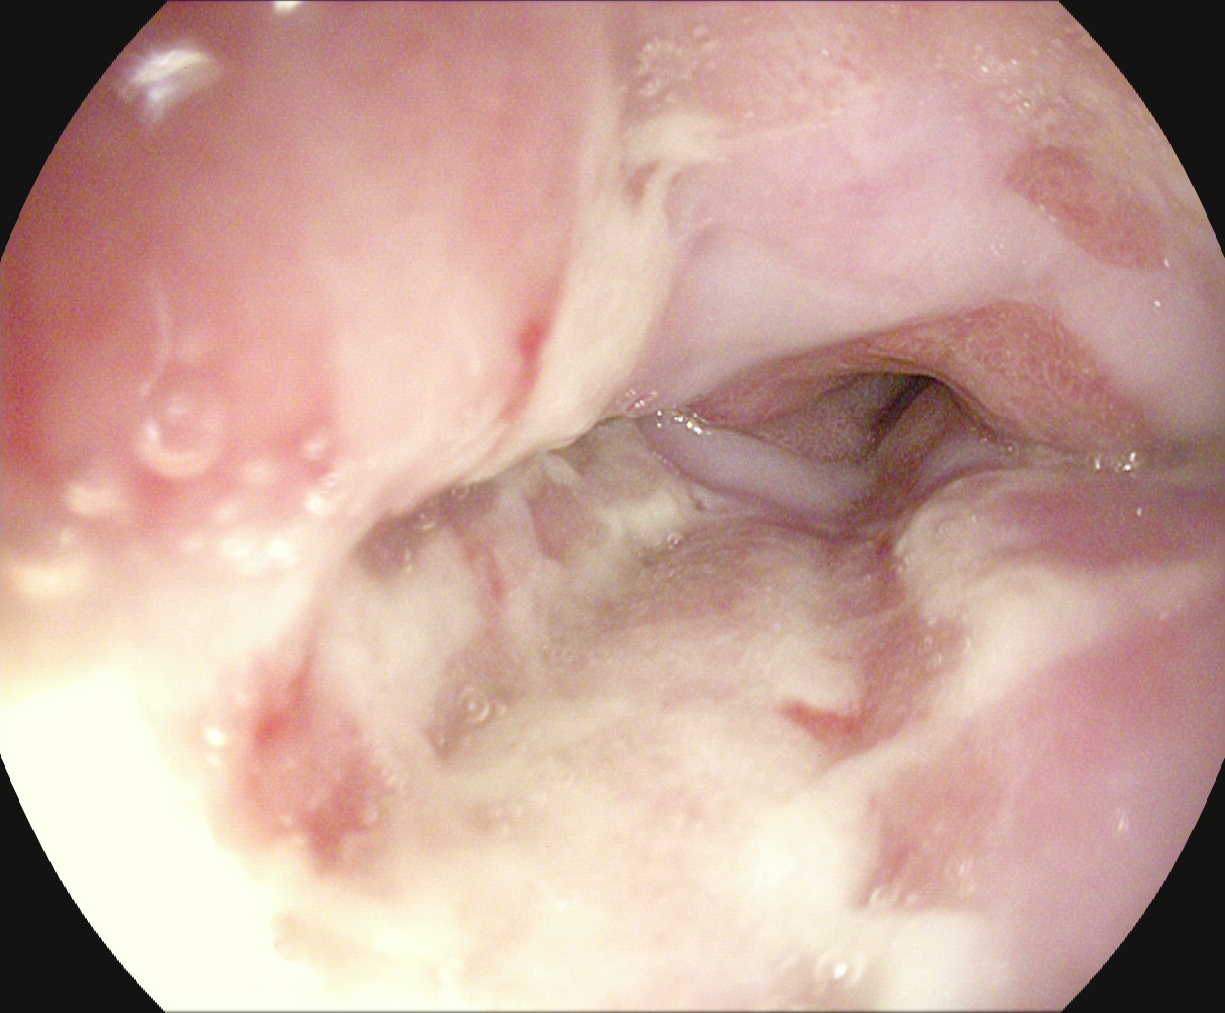EGD image of the upper GI tract showing reflux esophagitis, Los Angeles grade B–D.